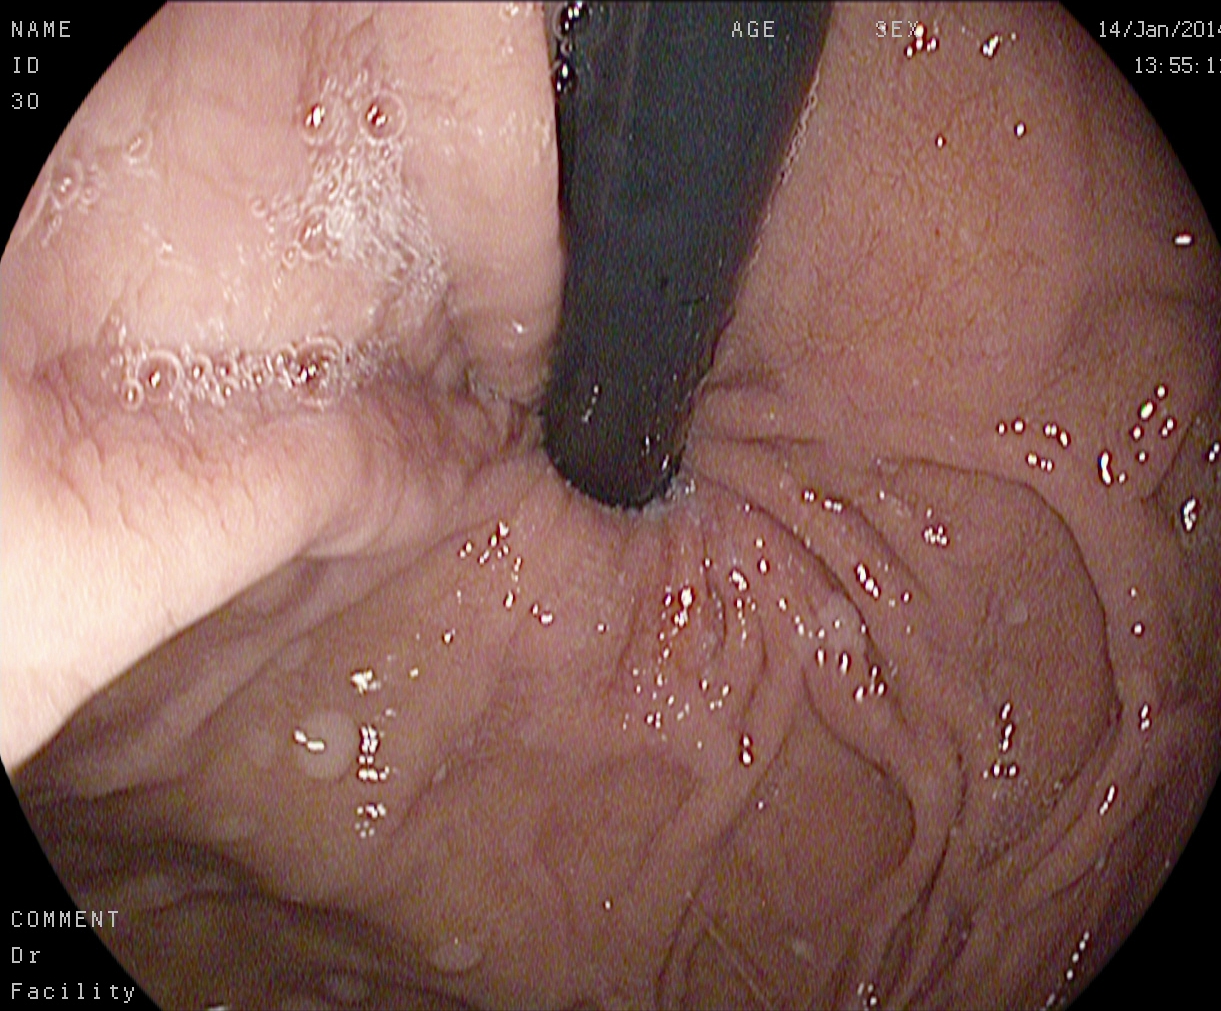Gastroscopy. Anatomical landmark. Finding: stomach in retroflexion.